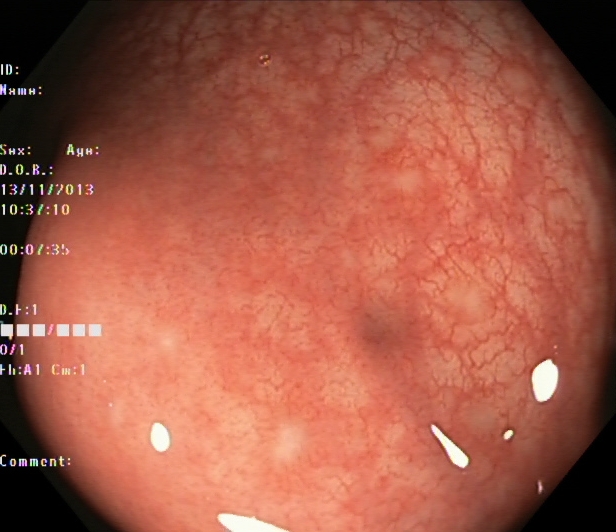modality: colonoscopy; category: pathological finding; finding: ulcerative colitis, Mayo endoscopic subscore 1